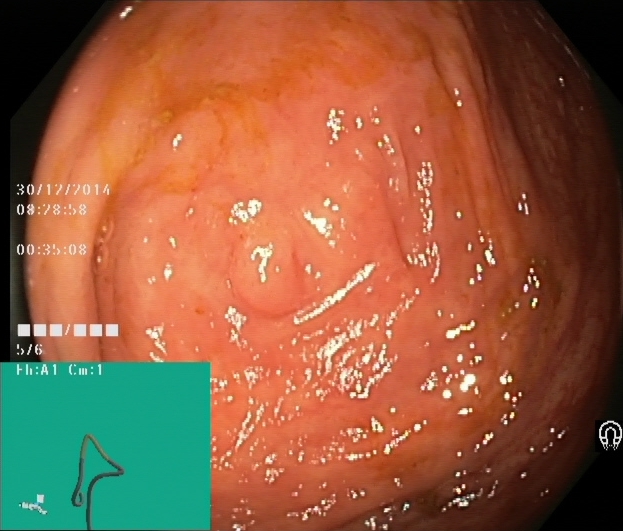modality: lower-GI endoscopy | tract: lower GI tract | finding: cecum